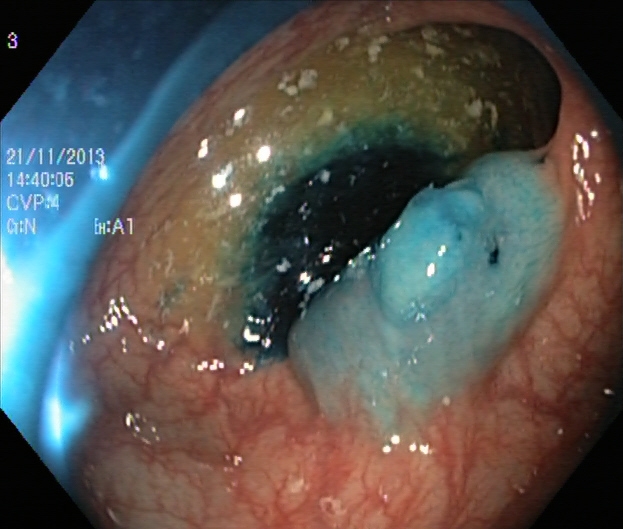PROCEDURE: Lower-GI endoscopy.
FINDINGS: Dyed and lifted polyp (pre-resection).